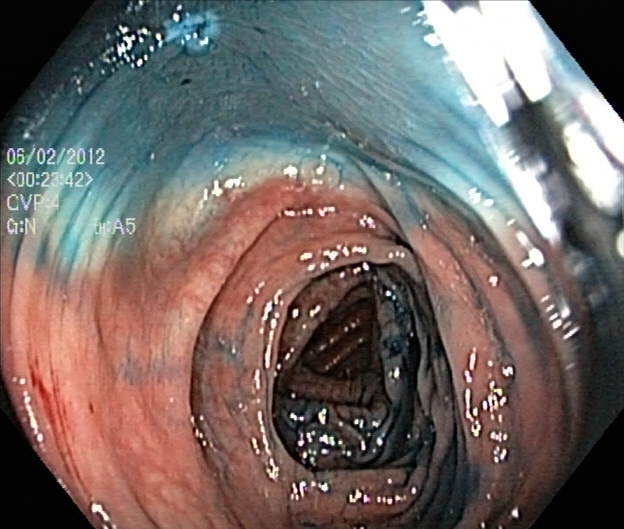GI endoscopy image of the lower GI tract showing dyed resection margins (post-polypectomy).